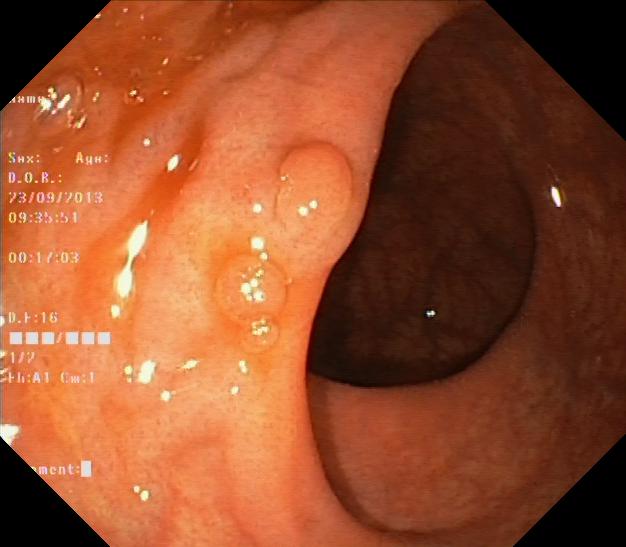colorectal polyp(s).